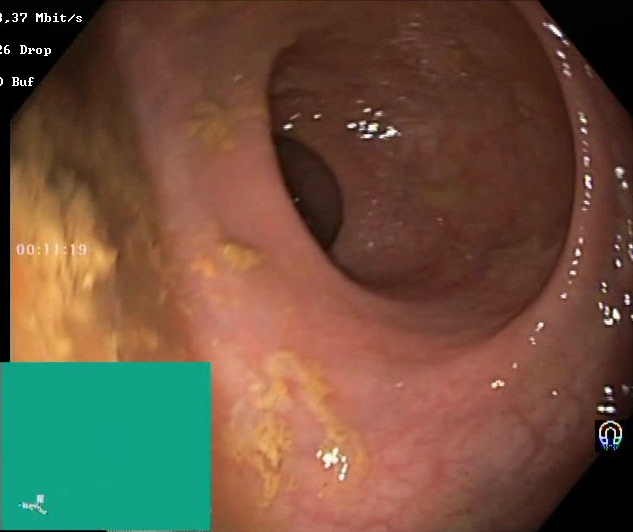Lower gastrointestinal endoscopy. Mucosal-view quality. Finding: BBPS score 0–1 (inadequate preparation).